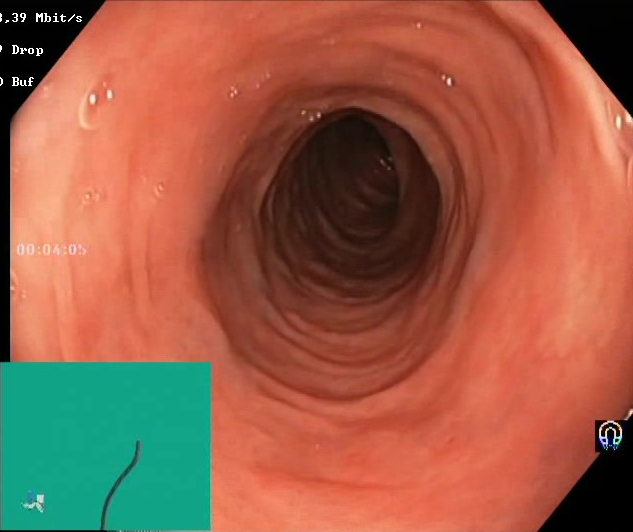Colonoscopy. Tract: lower GI tract. Mucosal-view quality. Finding: Boston Bowel Preparation Scale score 2–3 (adequate preparation).